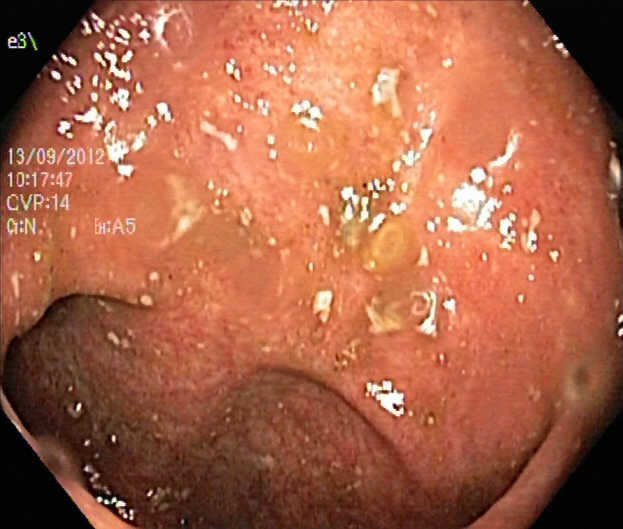This endoscopy frame shows ulcerative colitis, Mayo endoscopic subscore 1.